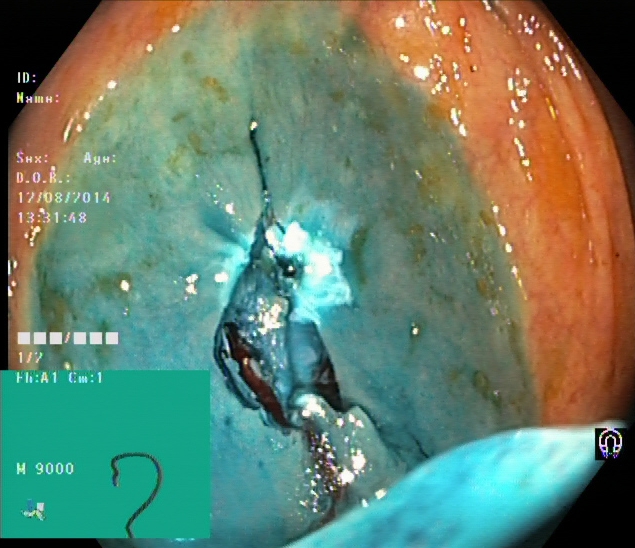Gastrointestinal endoscopy image showing dyed resection margins (post-polypectomy).